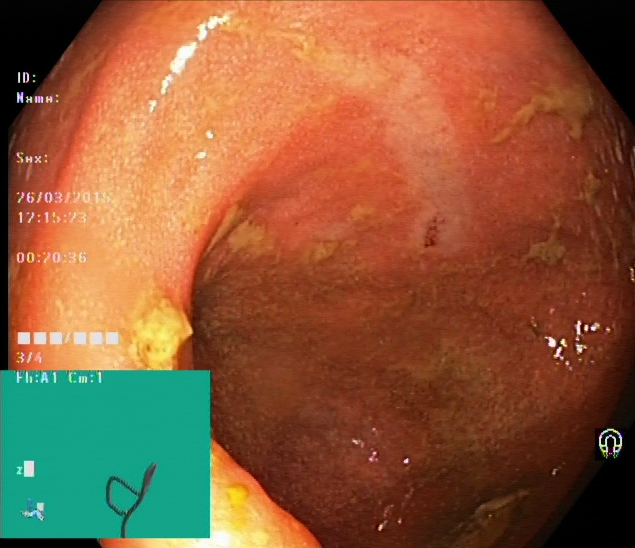Colonoscopy. Pathological finding. Finding: ulcerative colitis, Mayo endoscopic subscore 1.